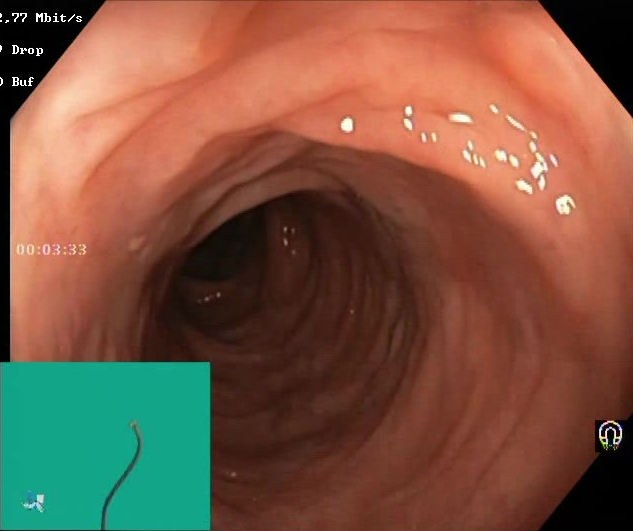This endoscopy frame of the lower GI tract shows Boston Bowel Preparation Scale score 2–3 (adequate preparation).